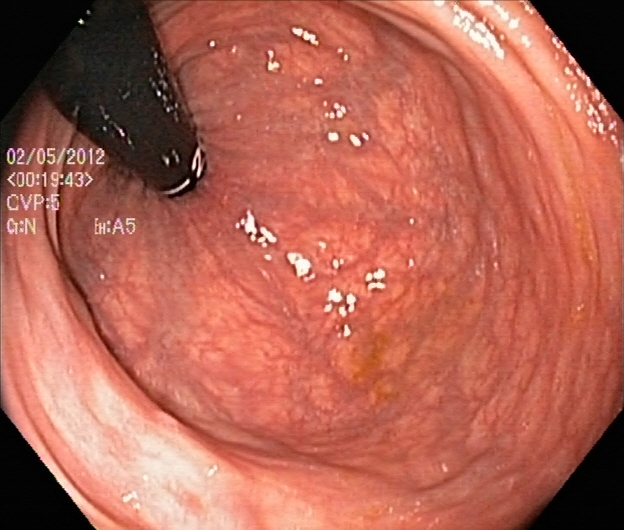modality: lower-GI endoscopy; tract: lower GI tract; category: anatomical landmark; finding: rectum in retroflexion